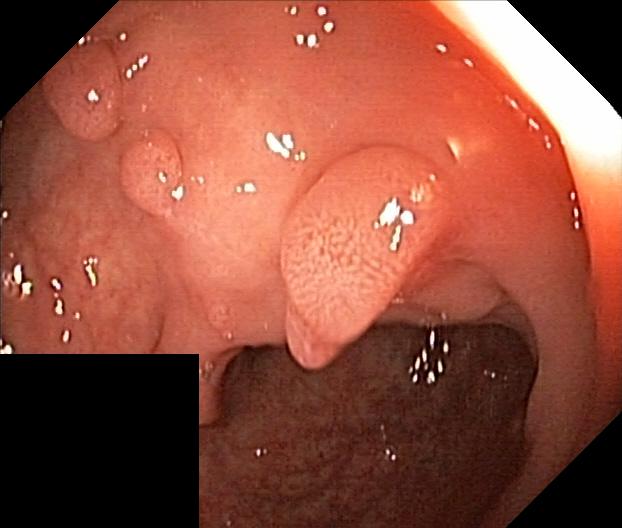Colorectal polyp(s).